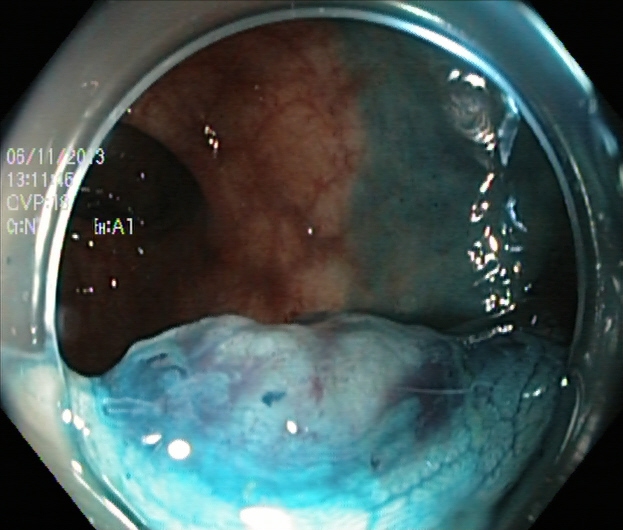This endoscopic image shows dyed and lifted polyp (pre-resection).